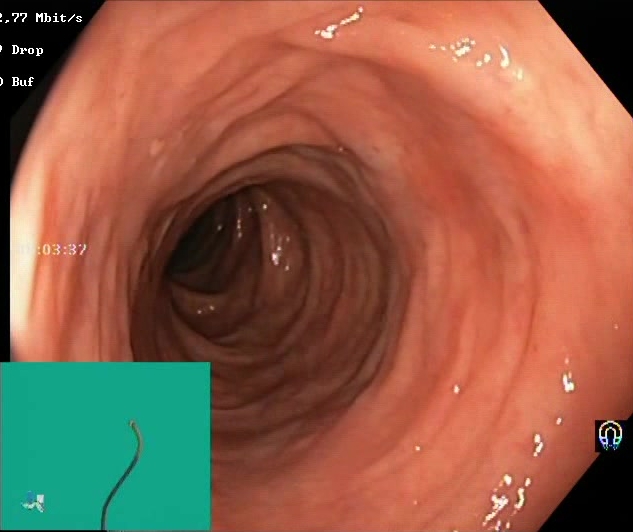PROCEDURE: Lower-GI endoscopy.
FINDINGS: BBPS score 2–3 (adequate preparation).